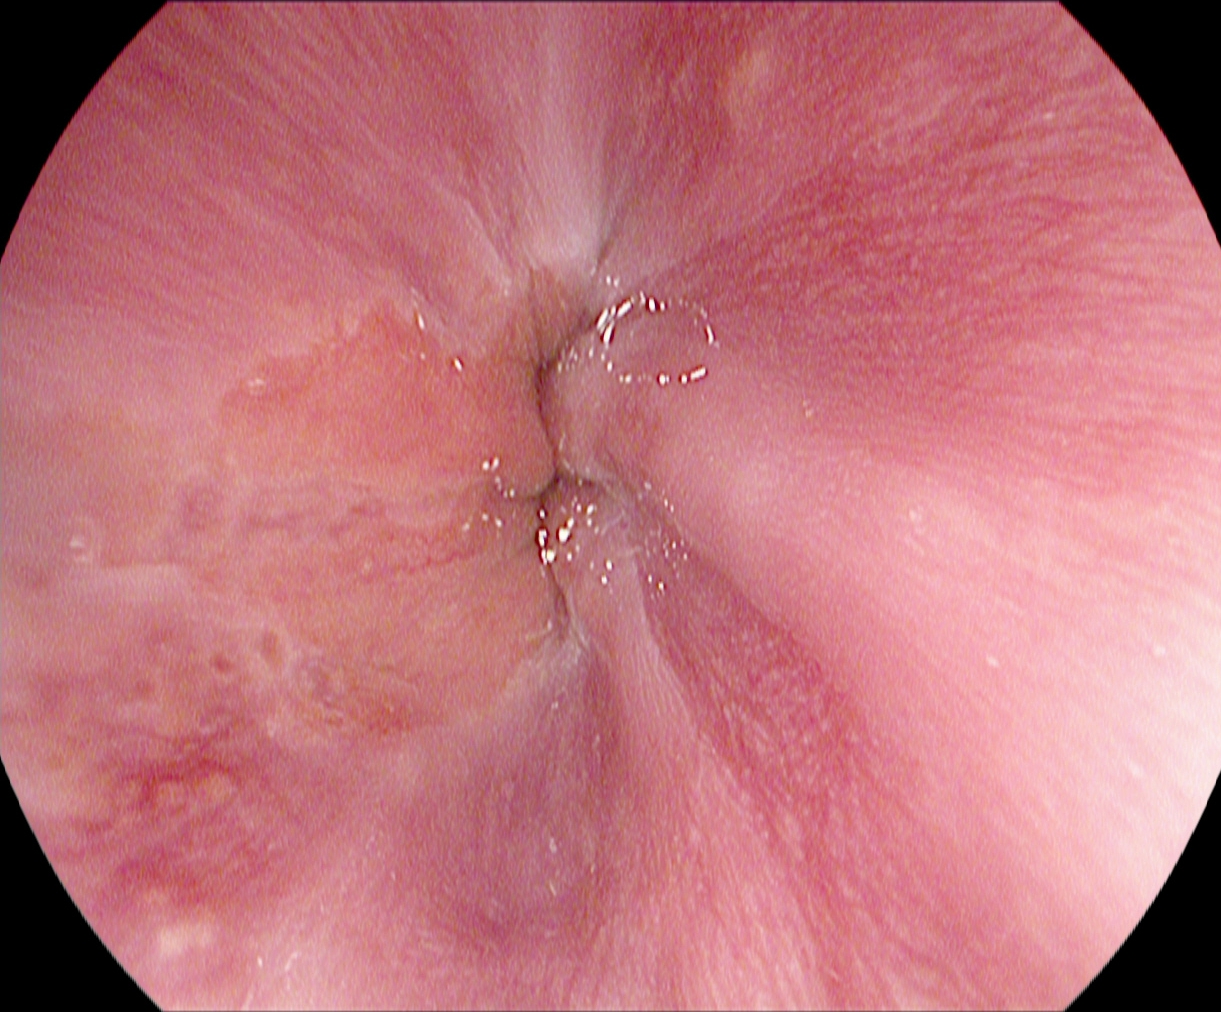This endoscopy frame of the upper GI tract shows Z-line (gastroesophageal junction).